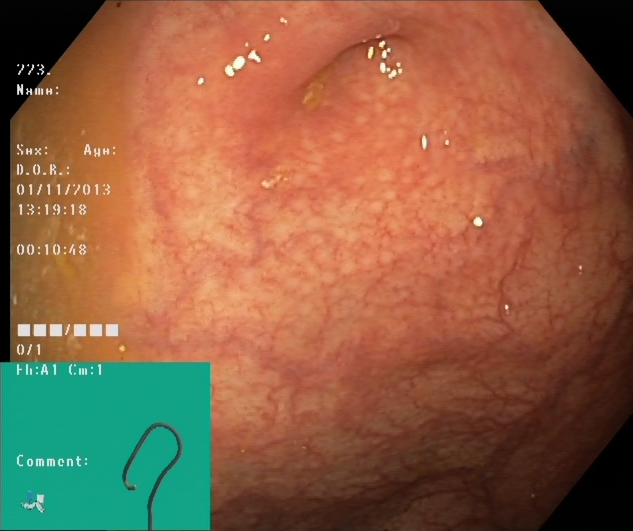This endoscopy frame shows cecum.